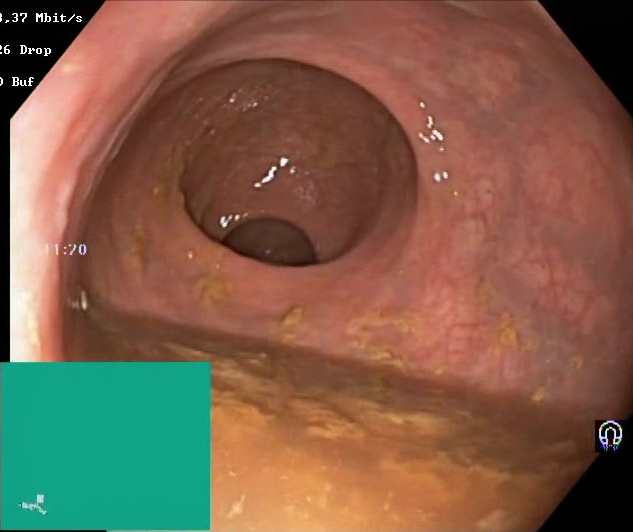Boston Bowel Preparation Scale score 0–1 (inadequate preparation).